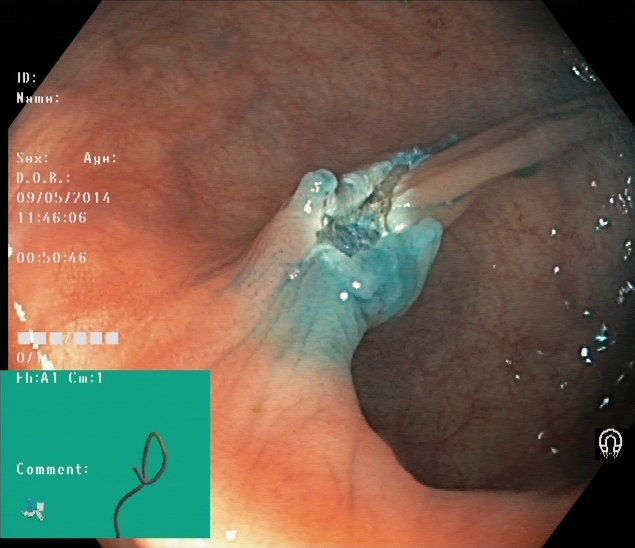GI endoscopy image showing dyed resection margins (post-polypectomy).